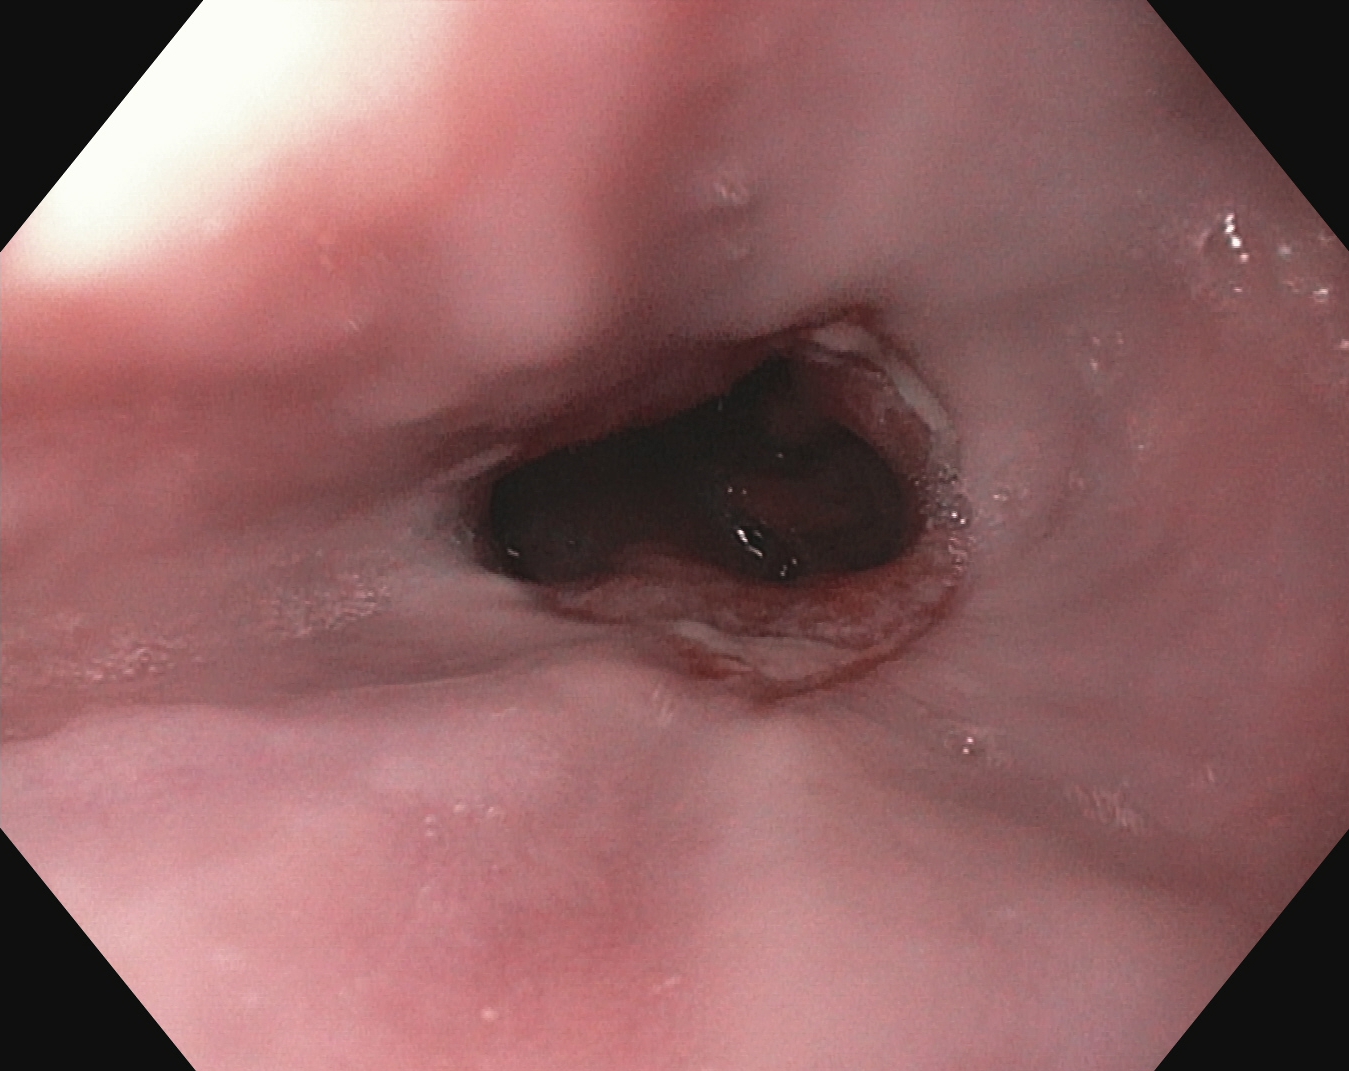Endoscopic frame of the upper GI tract showing reflux esophagitis, Los Angeles grade B–D.